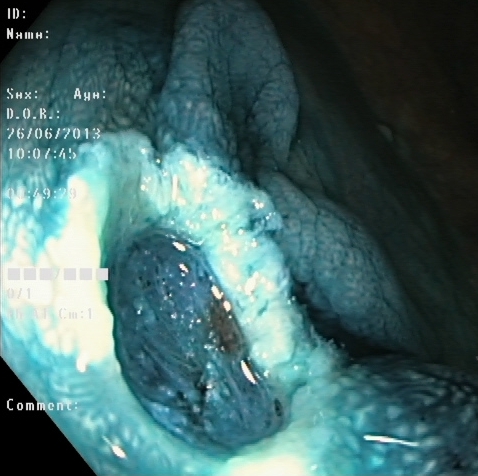{"modality": "colonoscopy", "tract": "lower GI tract", "category": "therapeutic intervention", "finding": "dyed resection margins (post-polypectomy)"}